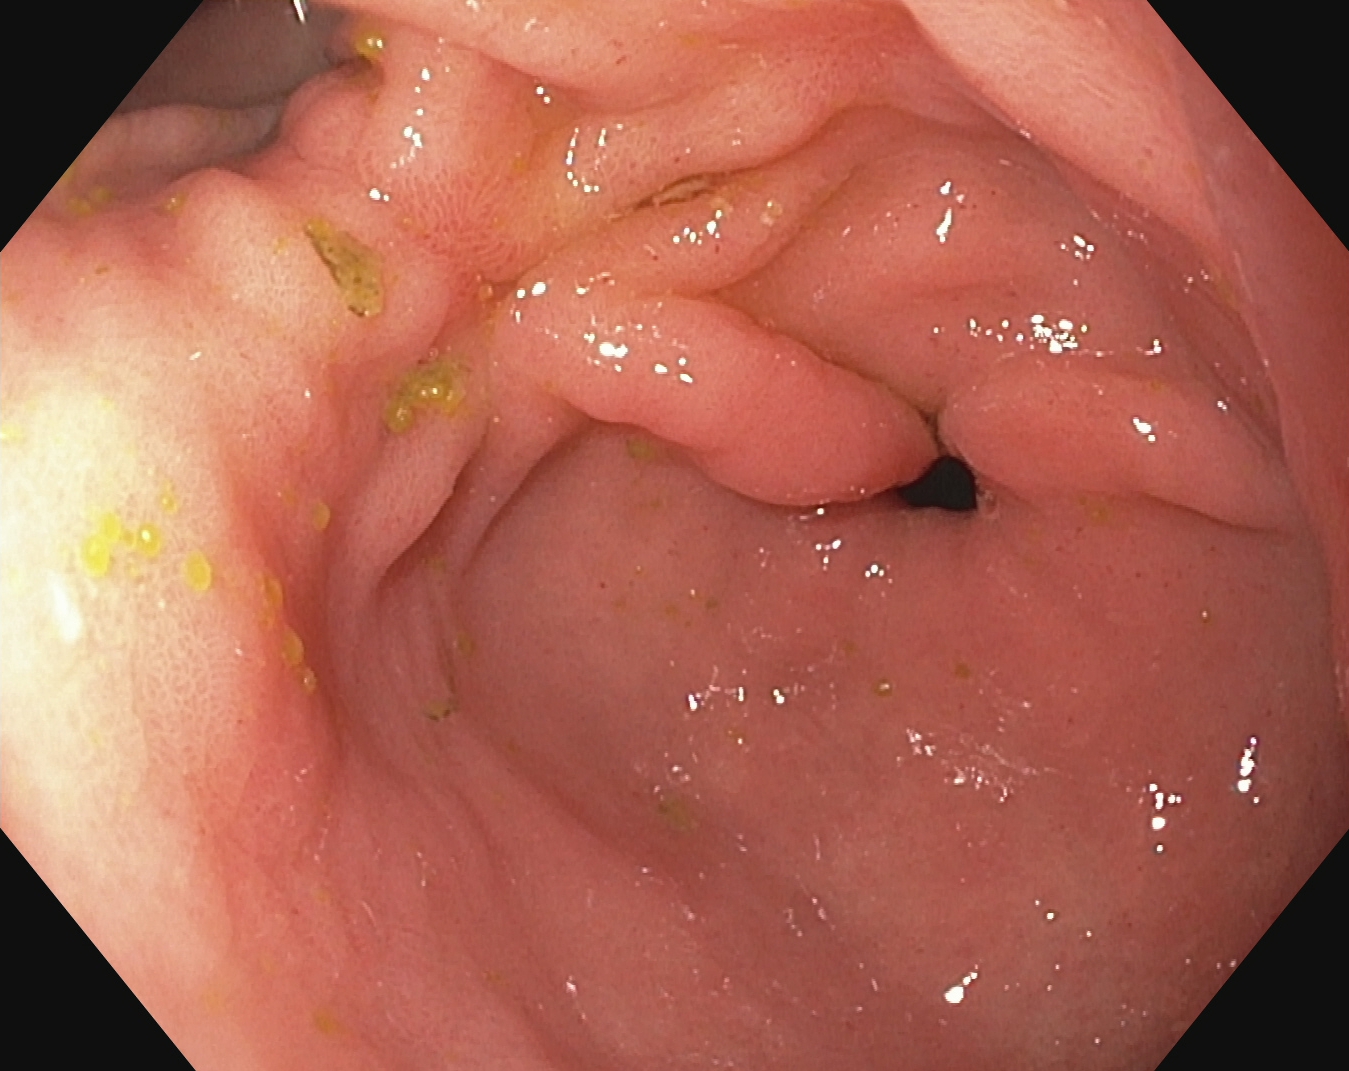PROCEDURE: Esophagogastroduodenoscopy.
FINDINGS: Pylorus.